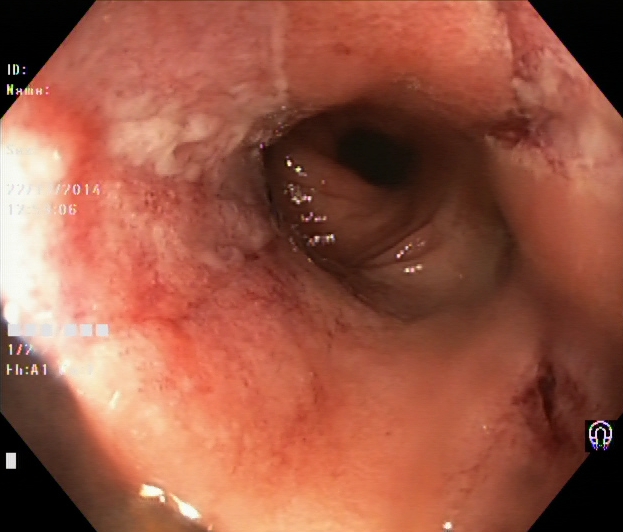Endoscopic frame showing ulcerative colitis, Mayo endoscopic subscore 2–3.